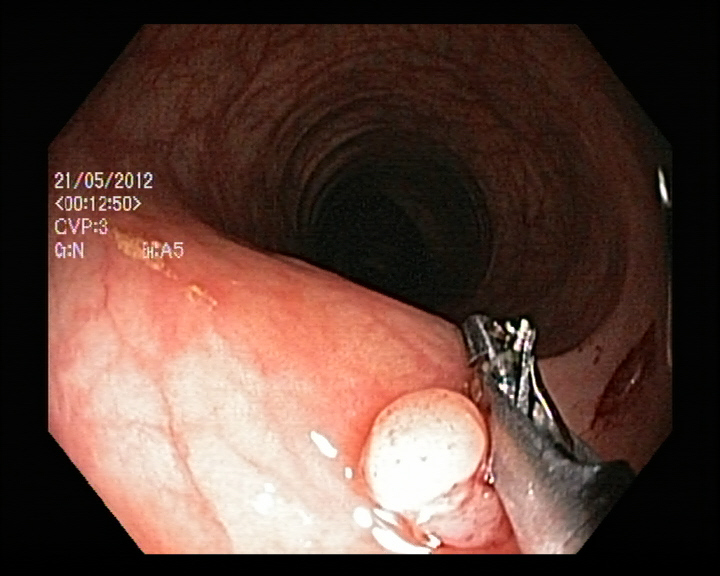Colorectal polyp(s).